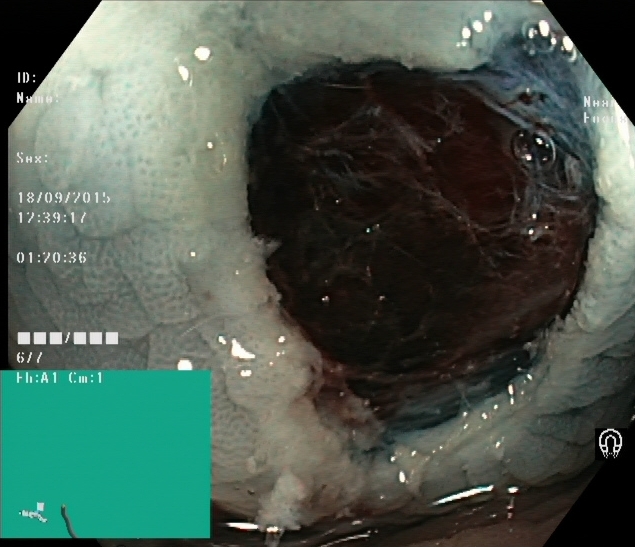PROCEDURE: Lower-GI endoscopy.
FINDINGS: Dyed resection margins (post-polypectomy).